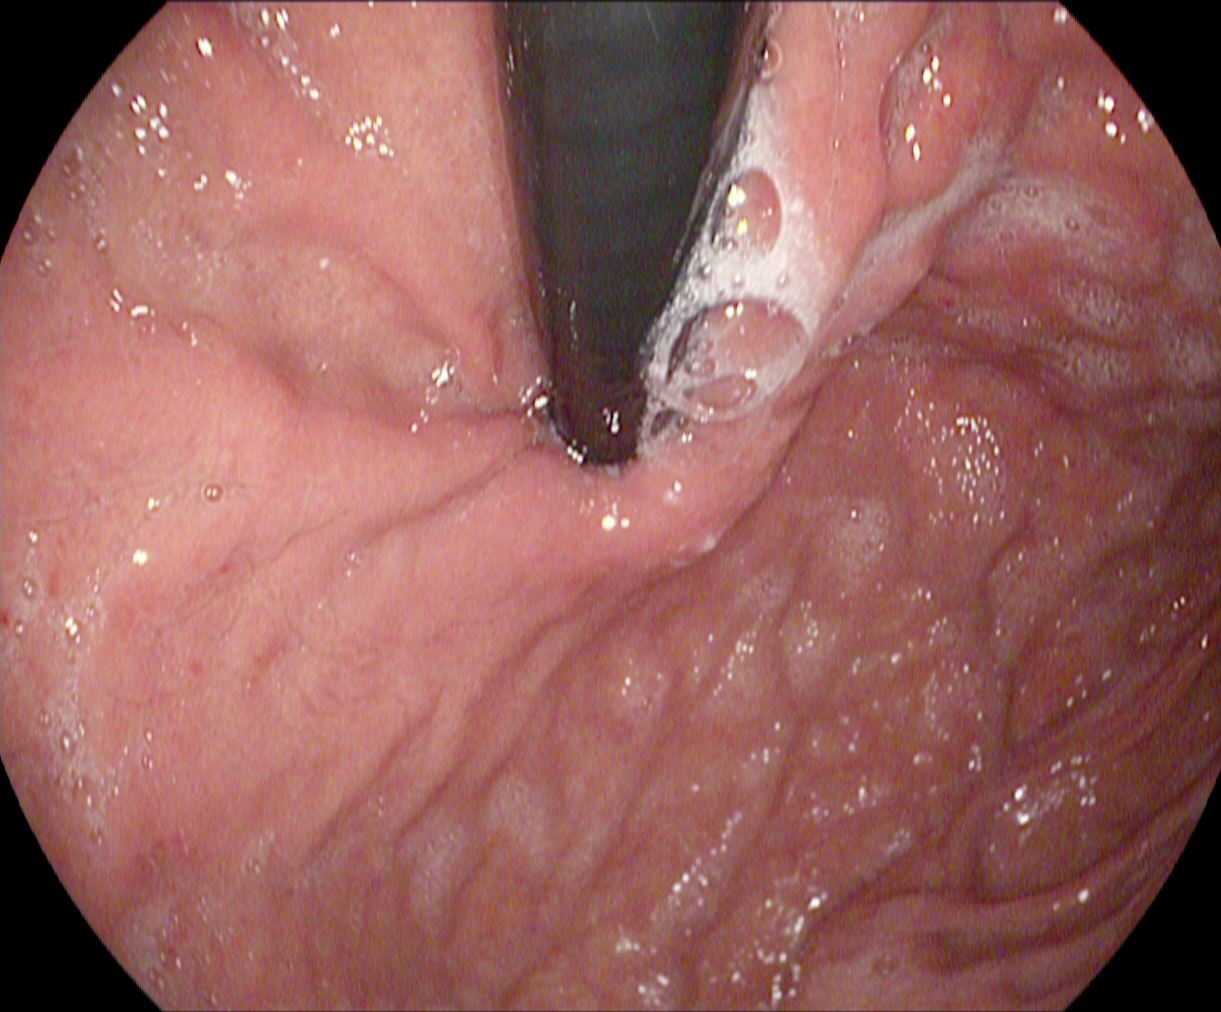Stomach in retroflexion.